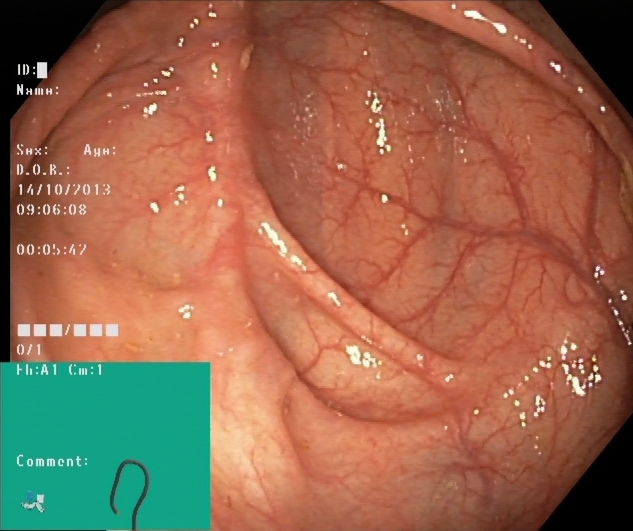modality: colonoscopy; finding: cecum